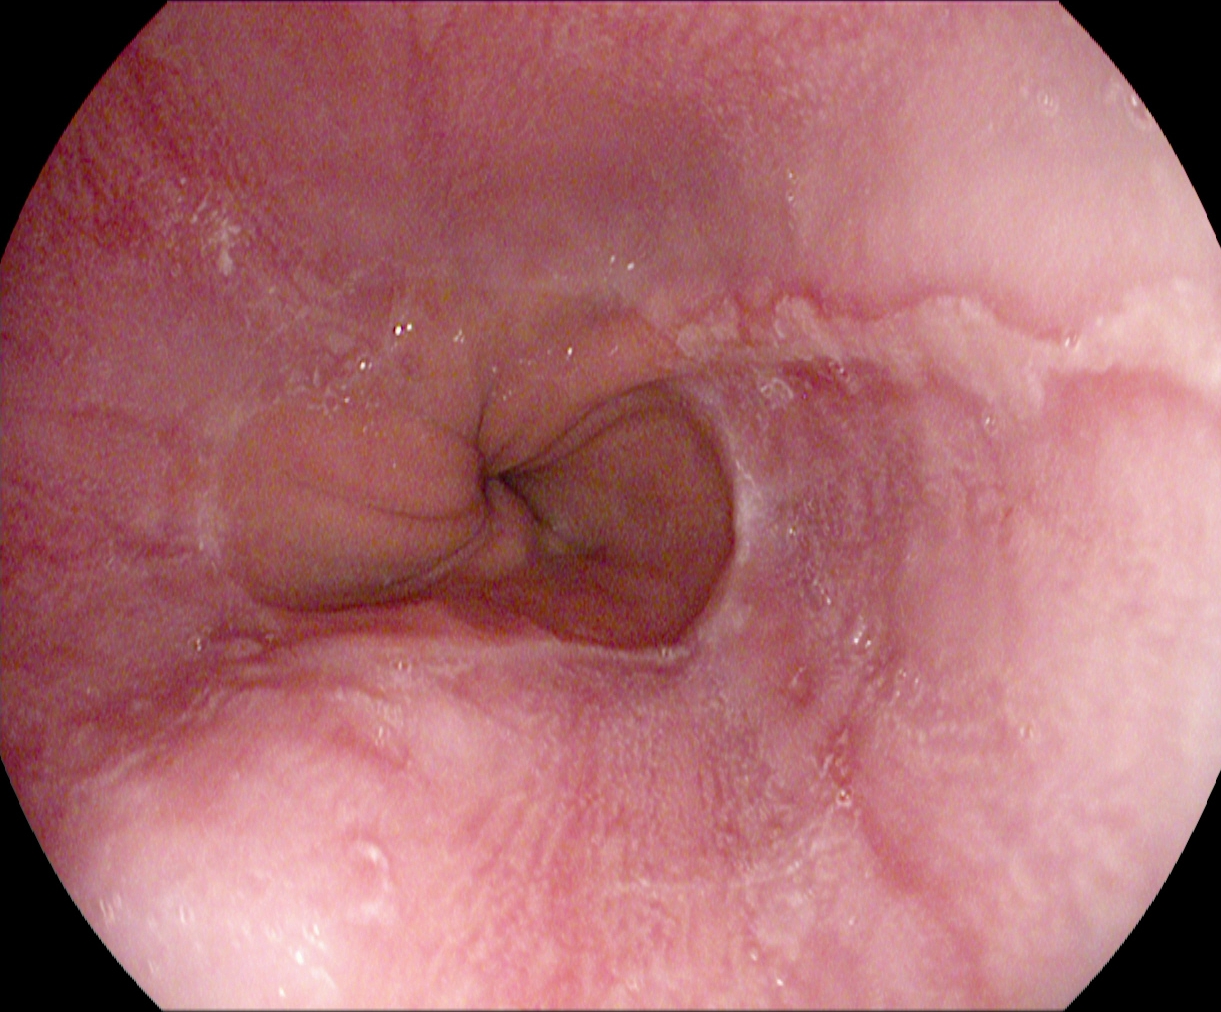This endoscopic image shows reflux esophagitis, Los Angeles grade B–D.